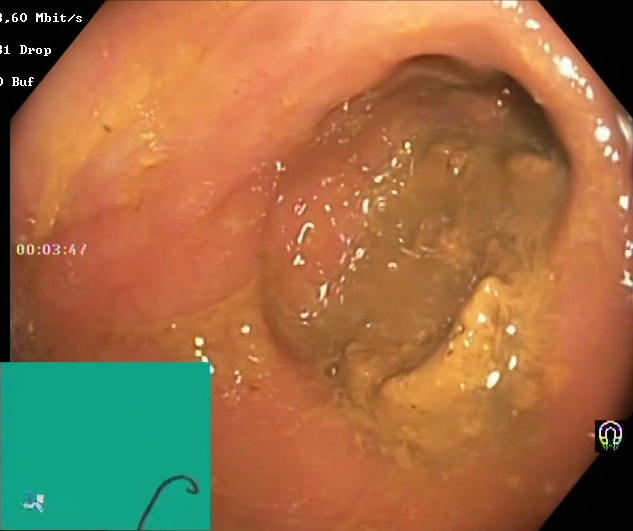PROCEDURE: Lower gastrointestinal endoscopy.
FINDINGS: Boston Bowel Preparation Scale score 0–1 (inadequate preparation).